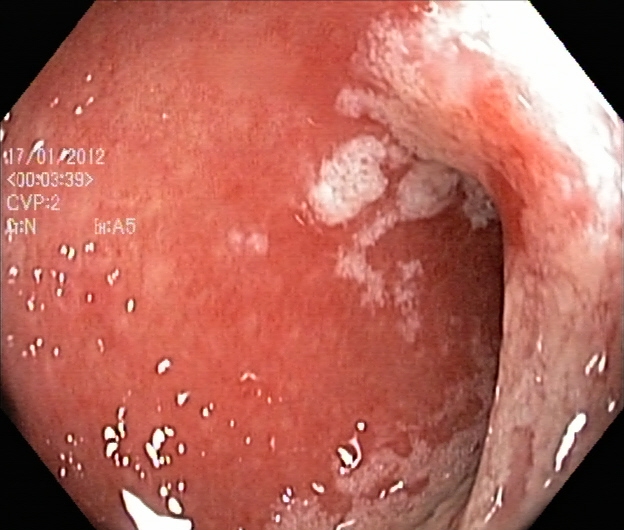This endoscopy frame of the lower GI tract shows ulcerative colitis, Mayo endoscopic subscore 2.